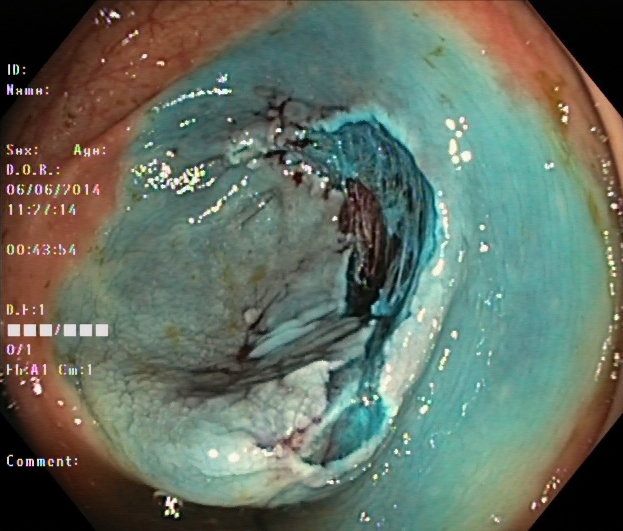GI endoscopy image of the lower GI tract showing dyed resection margins (post-polypectomy).